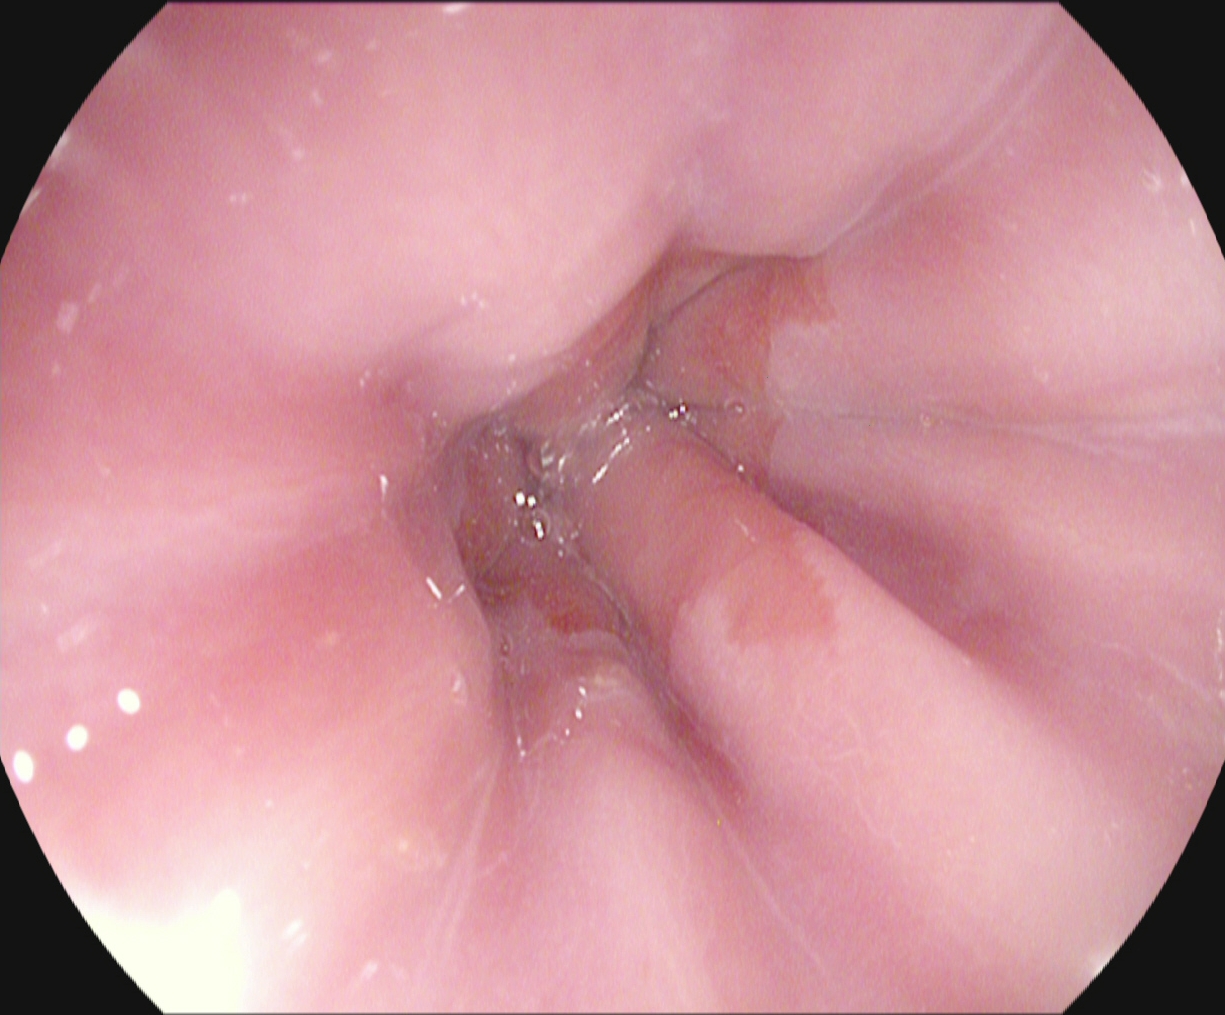Gastroscopy. Tract: upper GI tract. Finding: Z-line (gastroesophageal junction).